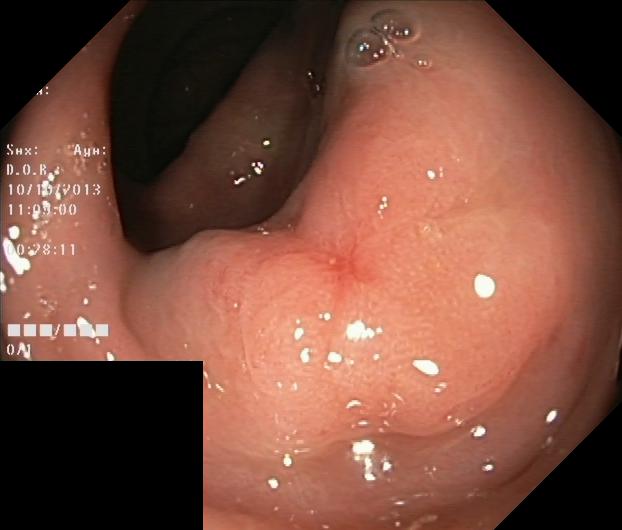modality: colonoscopy
category: pathological finding
finding: colorectal polyp(s)